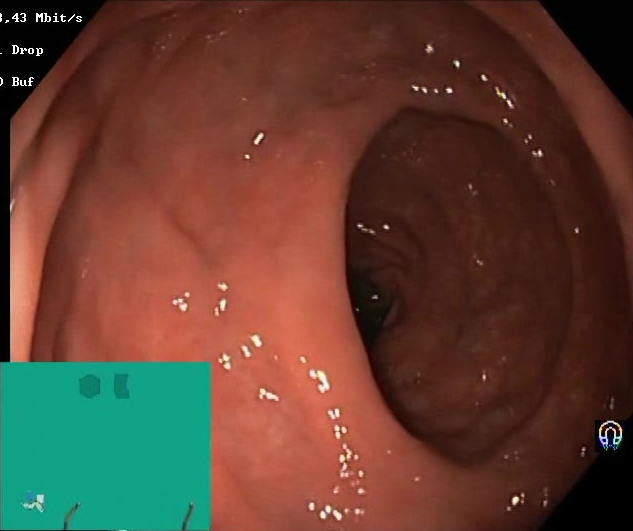modality: lower gastrointestinal endoscopy; tract: lower GI tract; category: mucosal-view quality; finding: BBPS score 2–3 (adequate preparation)